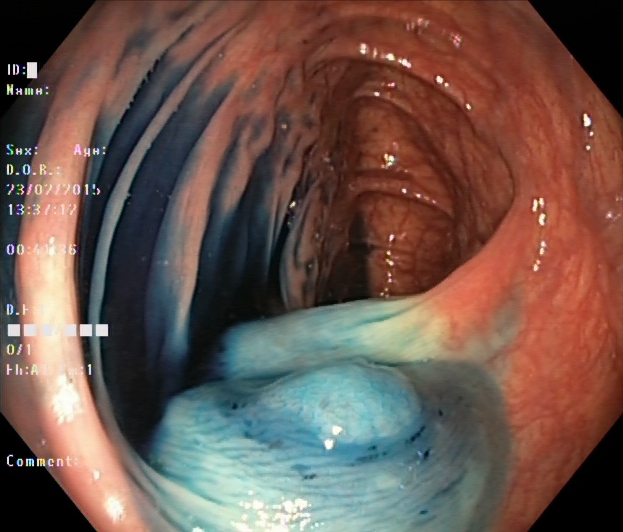Lower gastrointestinal endoscopy. Finding: dyed and lifted polyp (pre-resection).